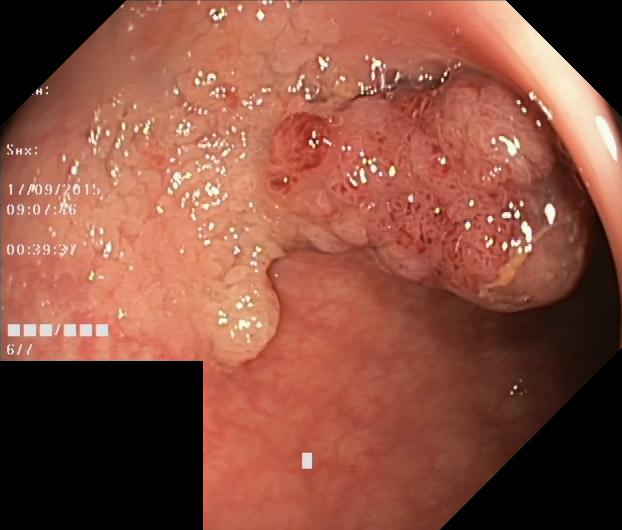Lower-GI endoscopy. Tract: lower GI tract. Finding: colorectal polyp(s).